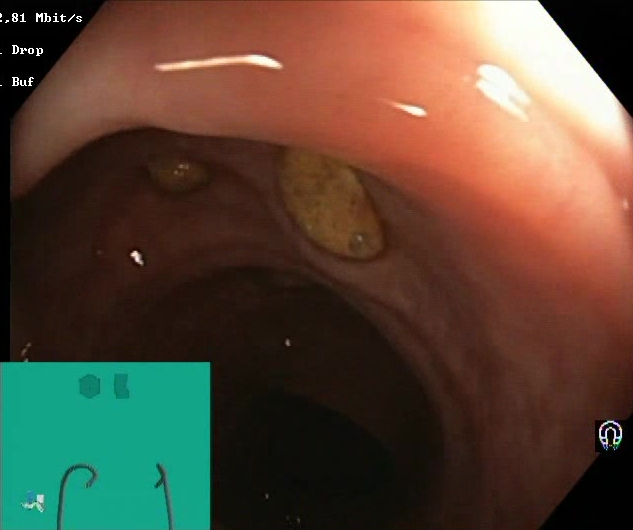Lower gastrointestinal endoscopy. Tract: lower GI tract. Finding: impacted stool.